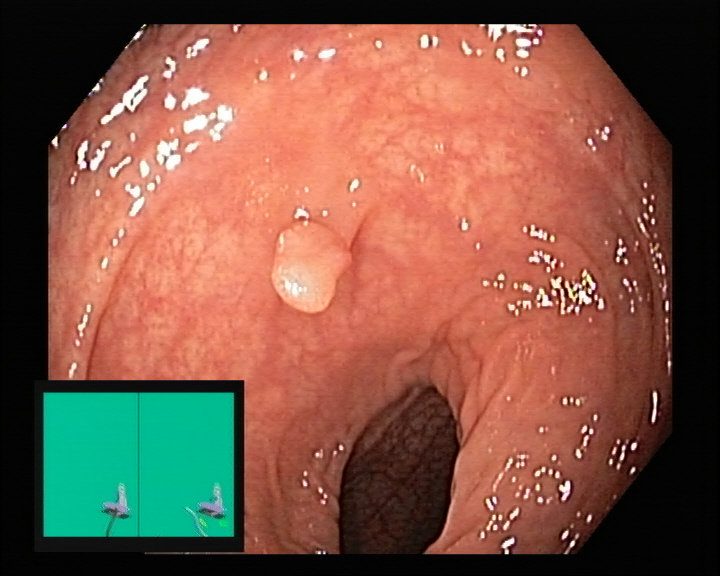modality: lower-GI endoscopy | tract: lower GI tract | category: pathological finding | finding: colorectal polyp(s)